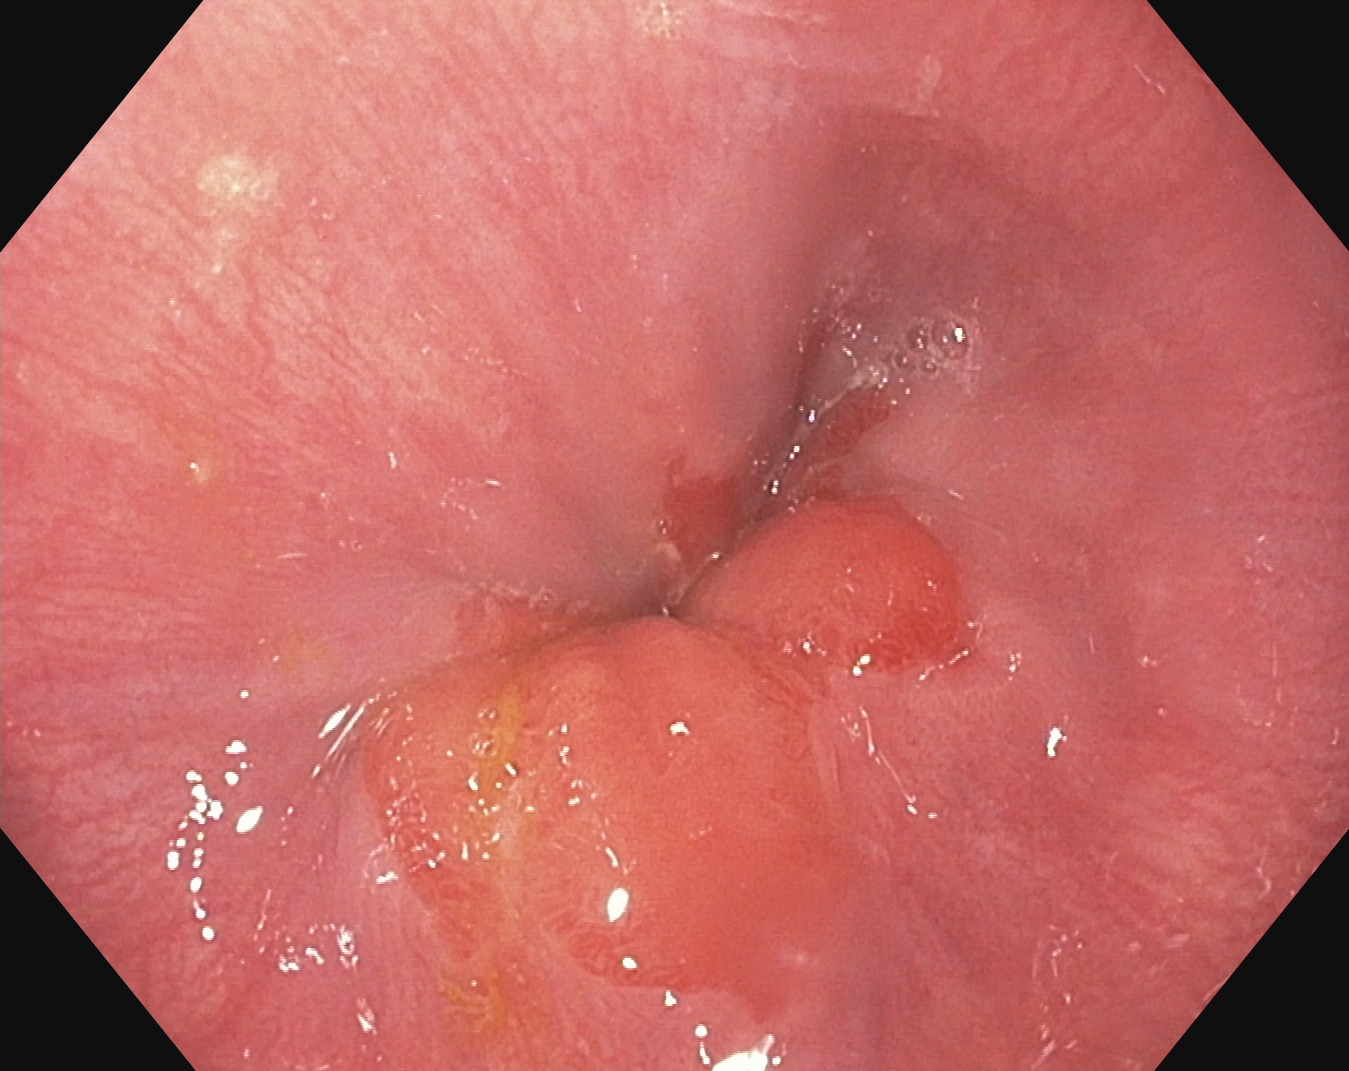PROCEDURE: EGD.
FINDINGS: Reflux esophagitis, Los Angeles grade A.